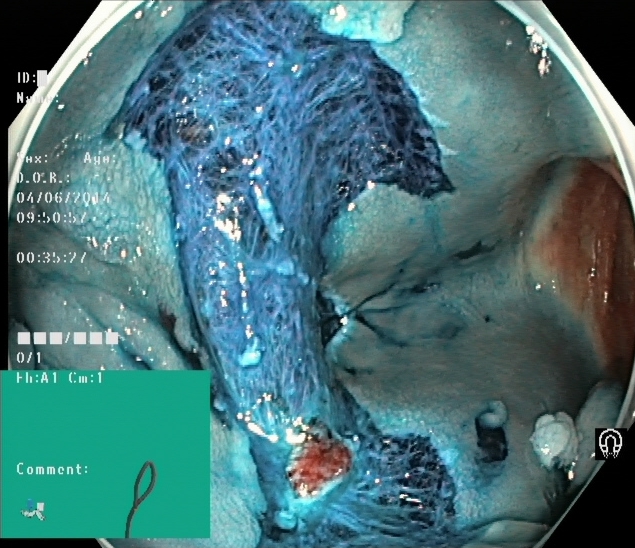modality: lower gastrointestinal endoscopy | category: therapeutic intervention | finding: dyed resection margins (post-polypectomy)